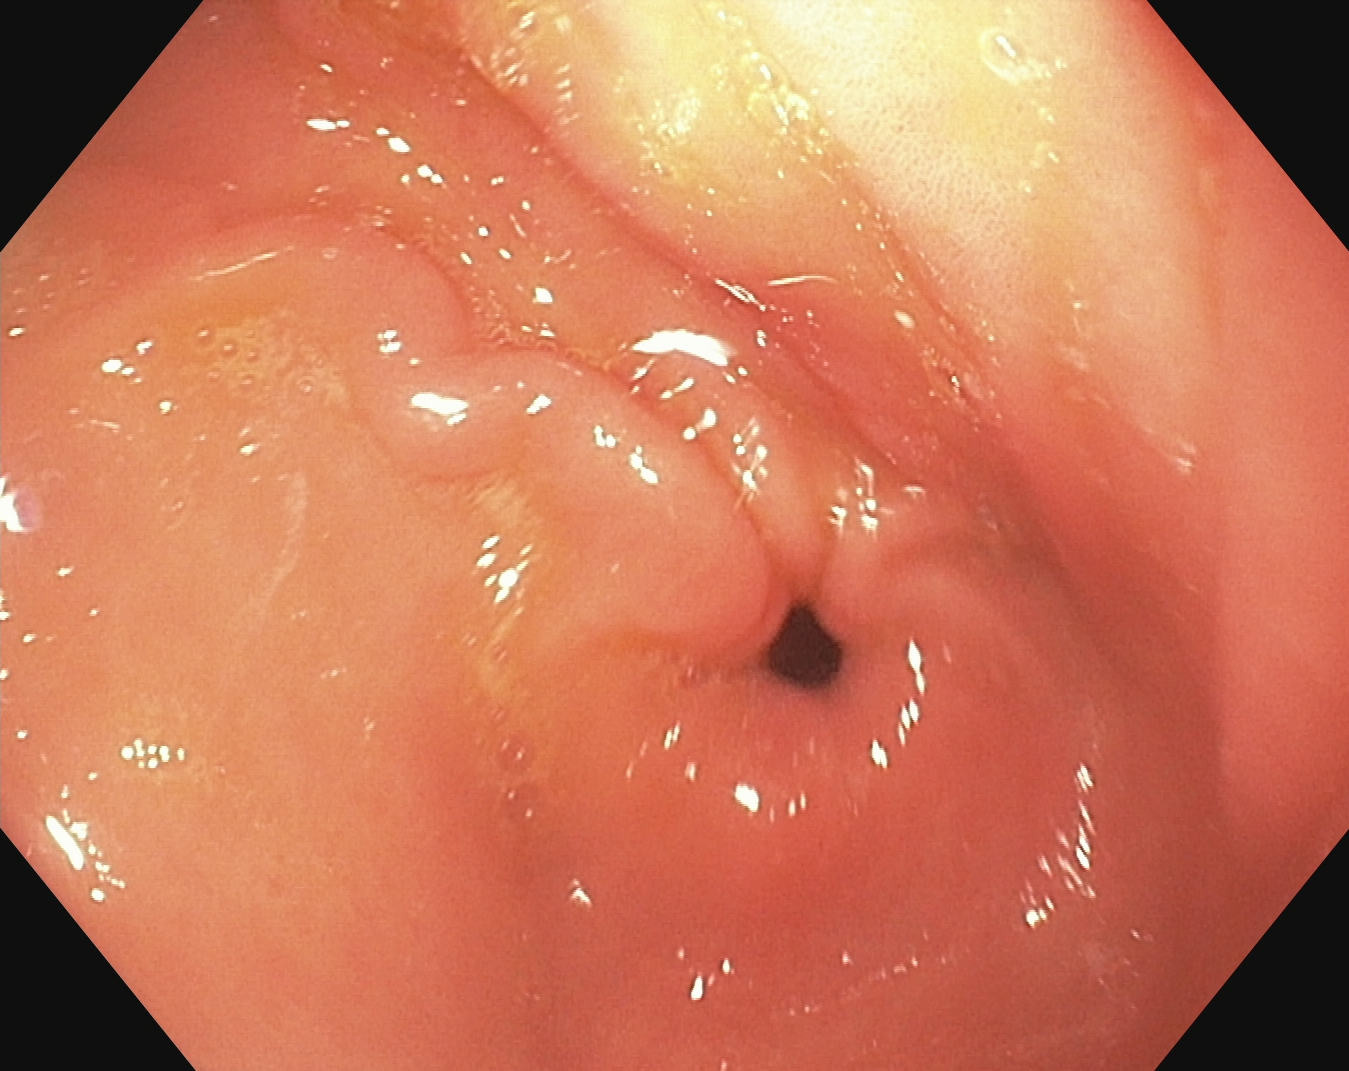pylorus.